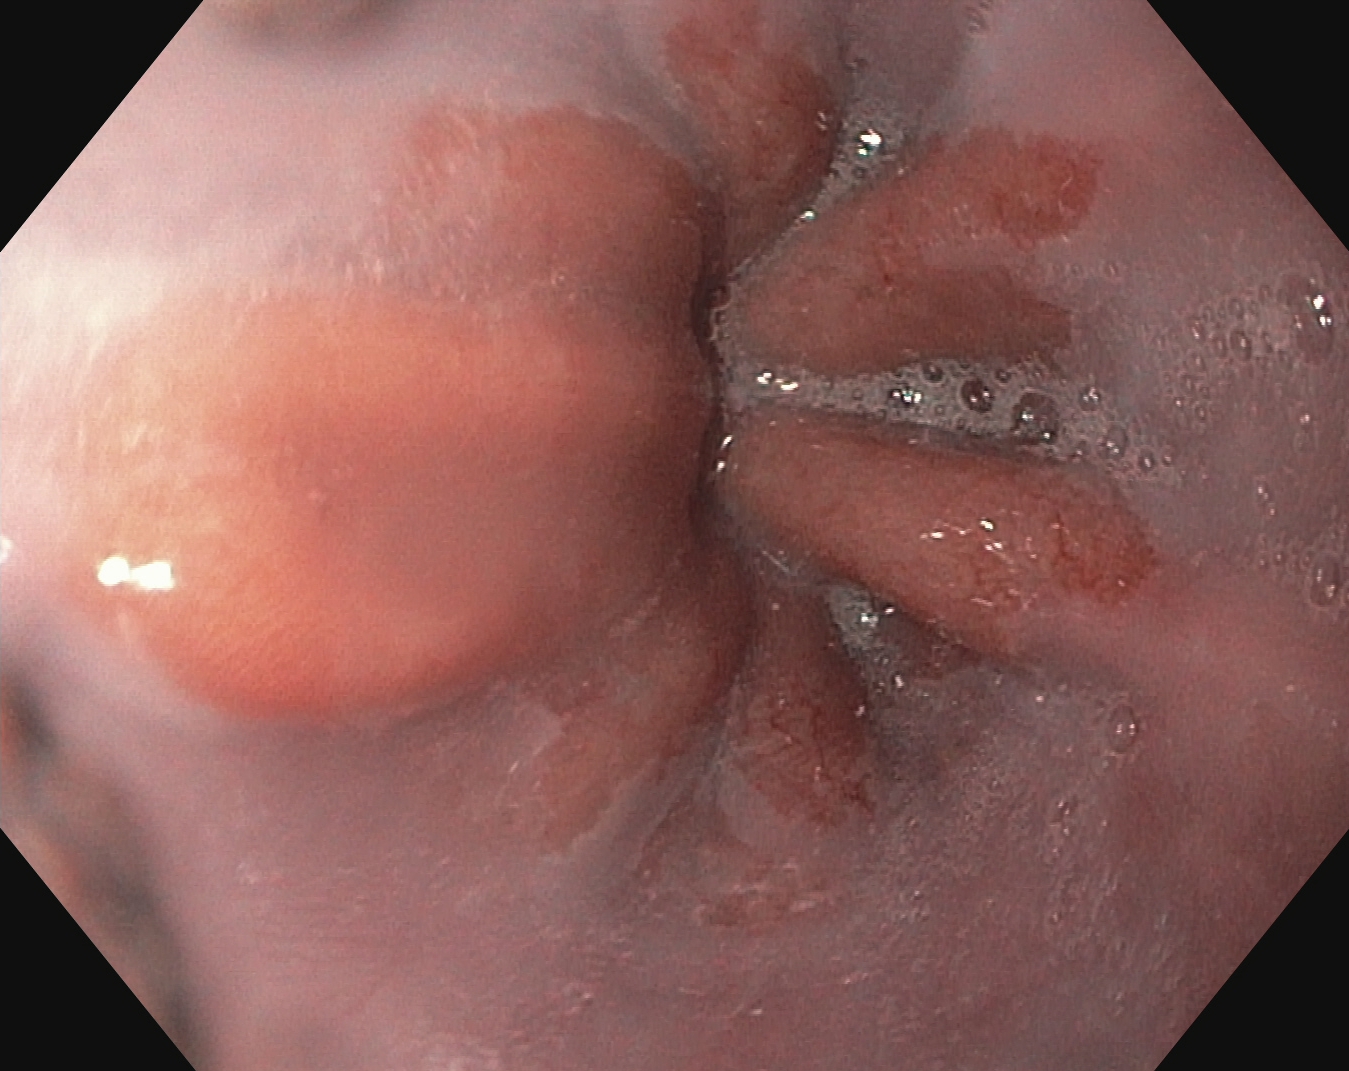This endoscopic image of the upper GI tract shows Z-line (gastroesophageal junction).